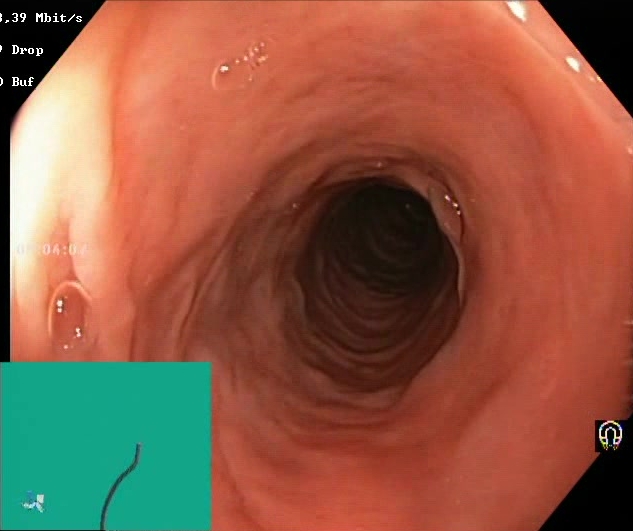Colonoscopy. Finding: BBPS score 2–3 (adequate preparation).